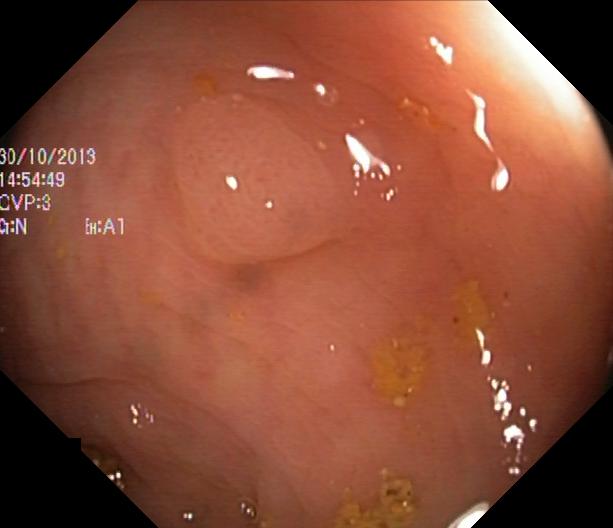This endoscopy frame of the lower GI tract shows colorectal polyp(s).